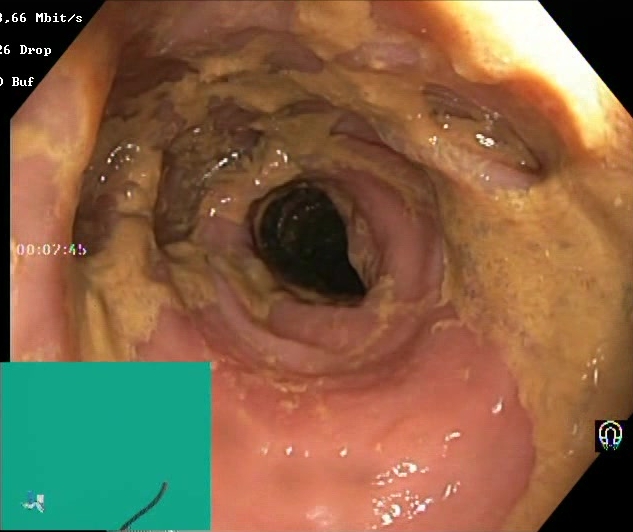{"modality": "lower gastrointestinal endoscopy", "tract": "lower GI tract", "finding": "BBPS score 0\u20131 (inadequate preparation)"}